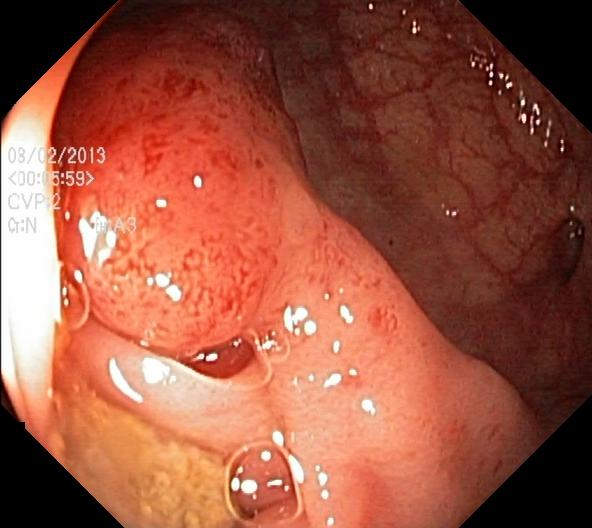modality: lower gastrointestinal endoscopy | finding: colorectal polyp(s)